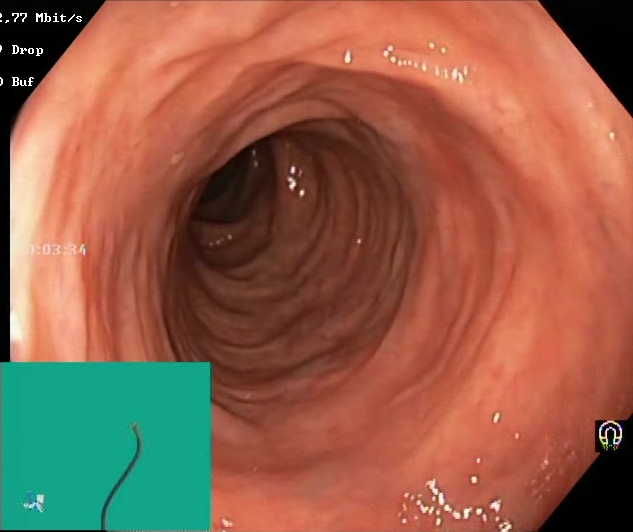This endoscopy frame shows Boston Bowel Preparation Scale score 2–3 (adequate preparation).